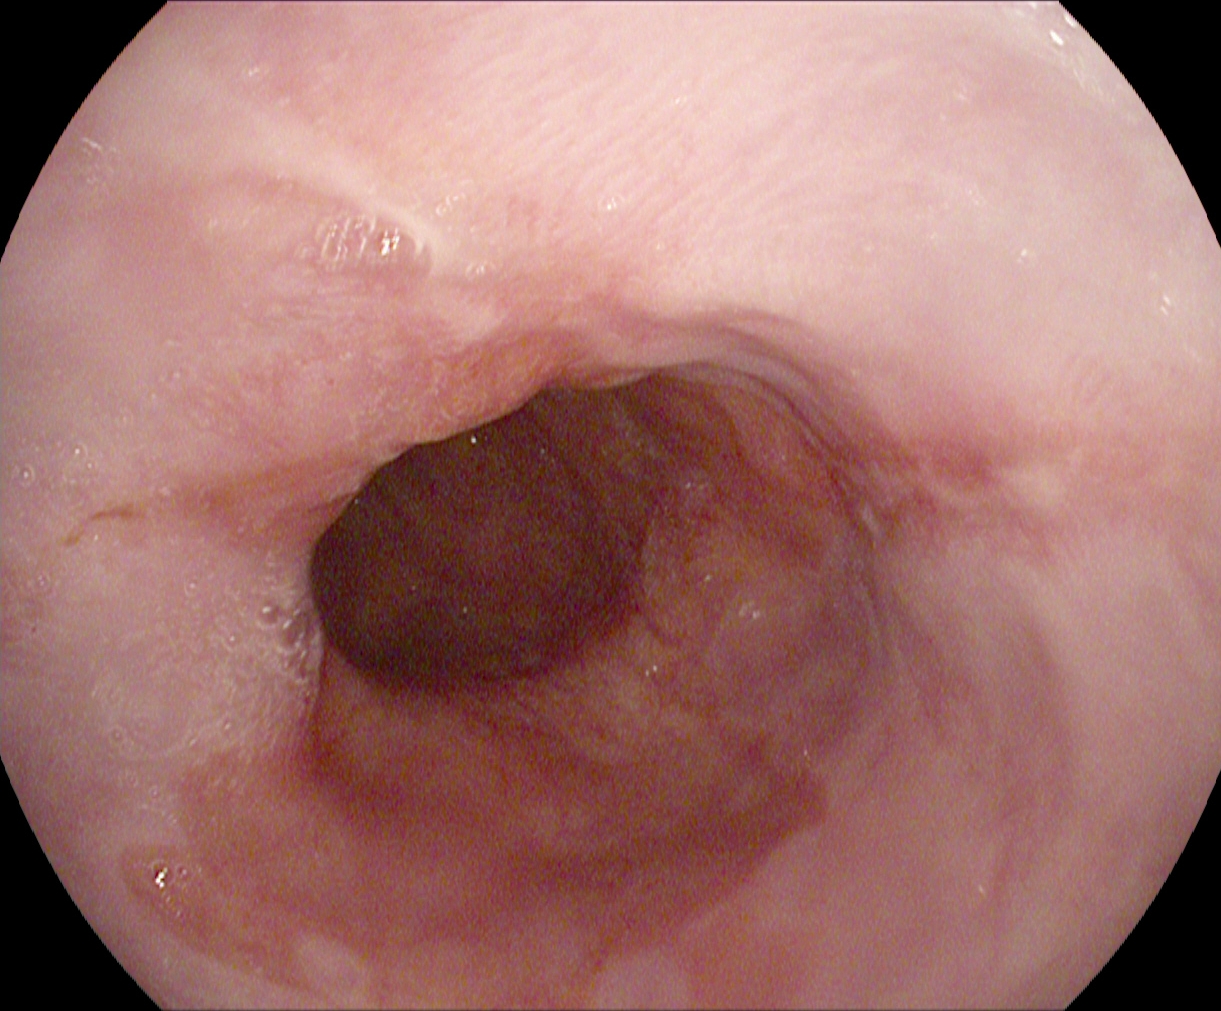This endoscopy frame shows reflux esophagitis, LA grade A.